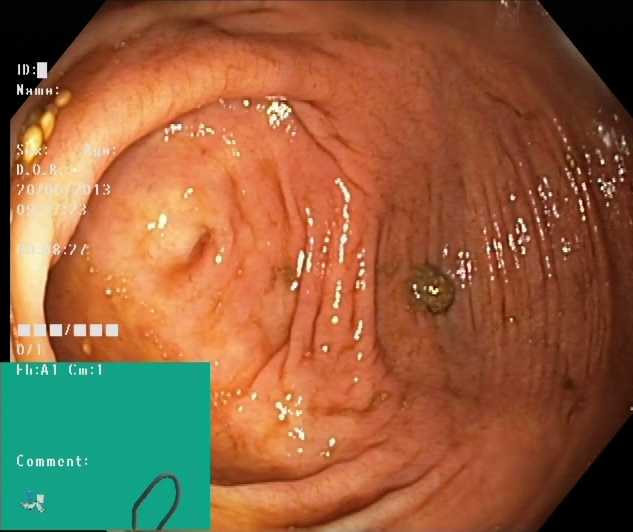Endoscopic frame of the lower GI tract showing cecum.